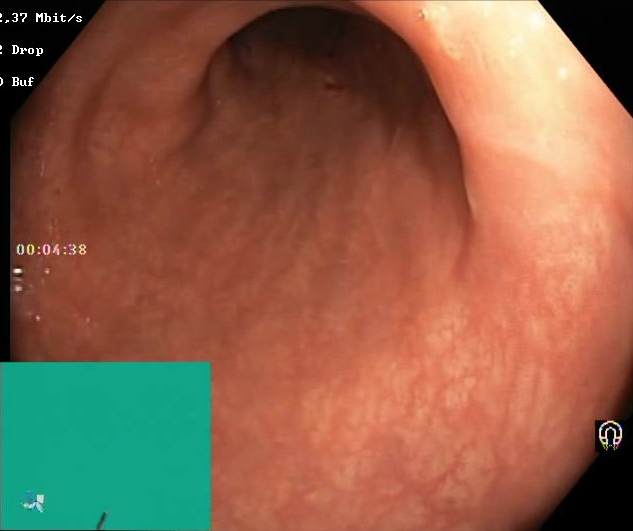BBPS score 2–3 (adequate preparation).